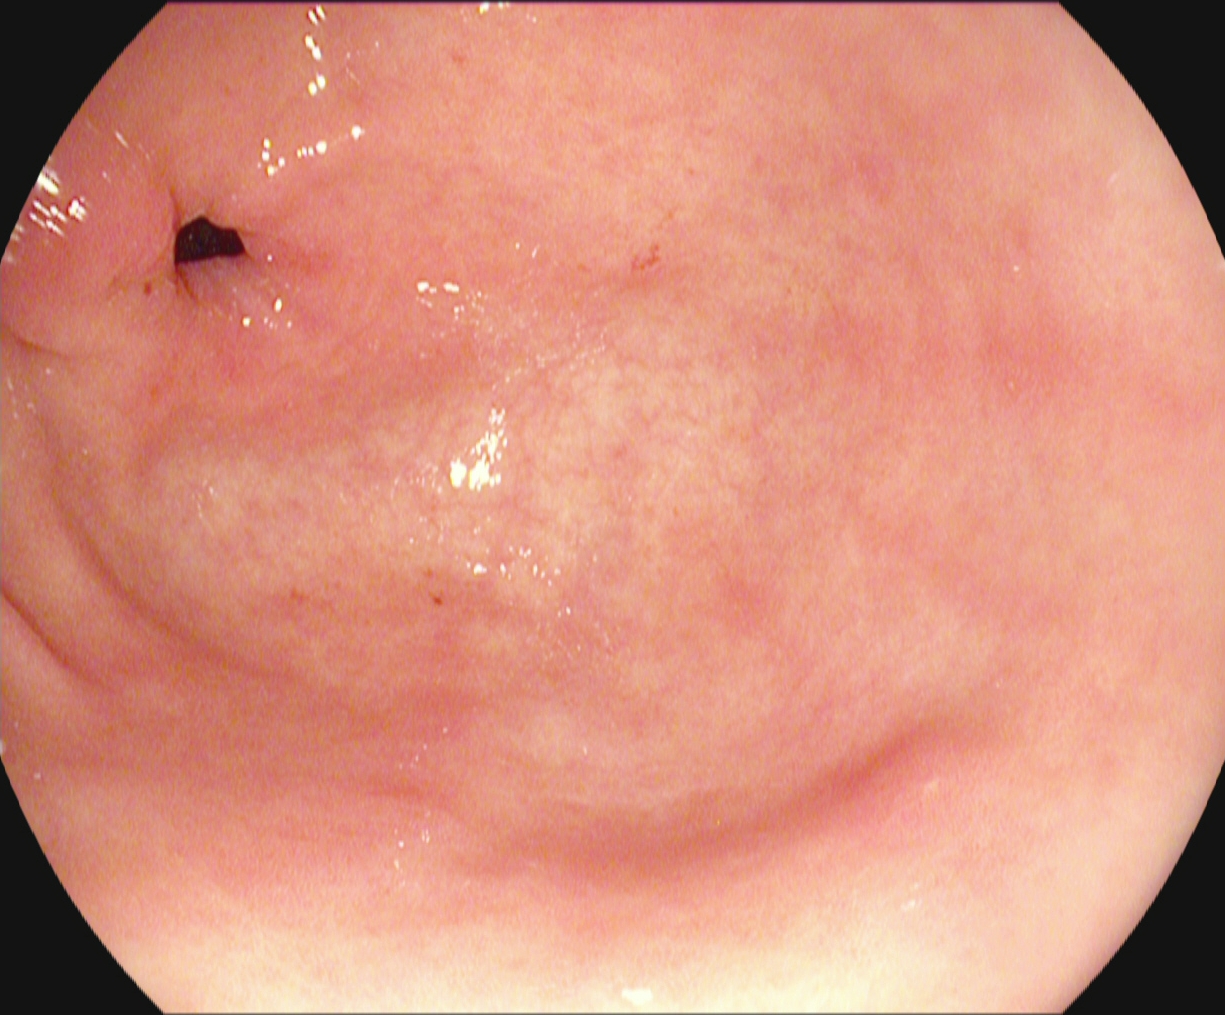EGD — pylorus.